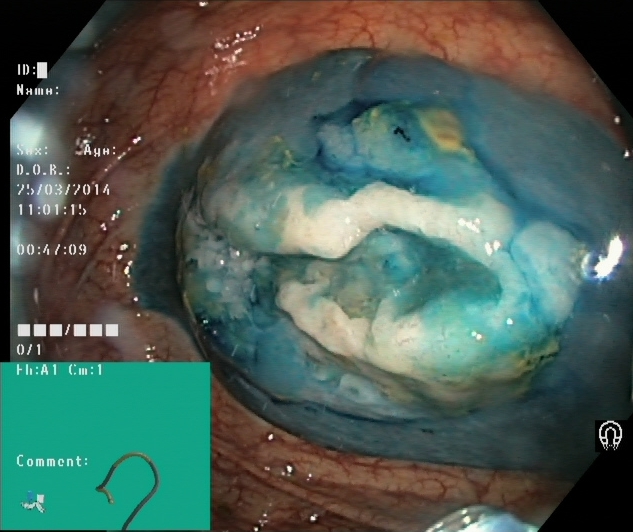{"modality": "lower-GI endoscopy", "tract": "lower GI tract", "finding": "dyed and lifted polyp (pre-resection)"}